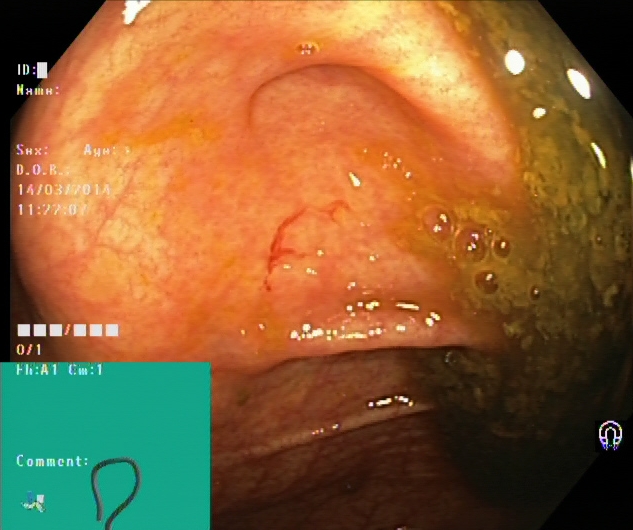PROCEDURE: Colonoscopy.
FINDINGS: Cecum.